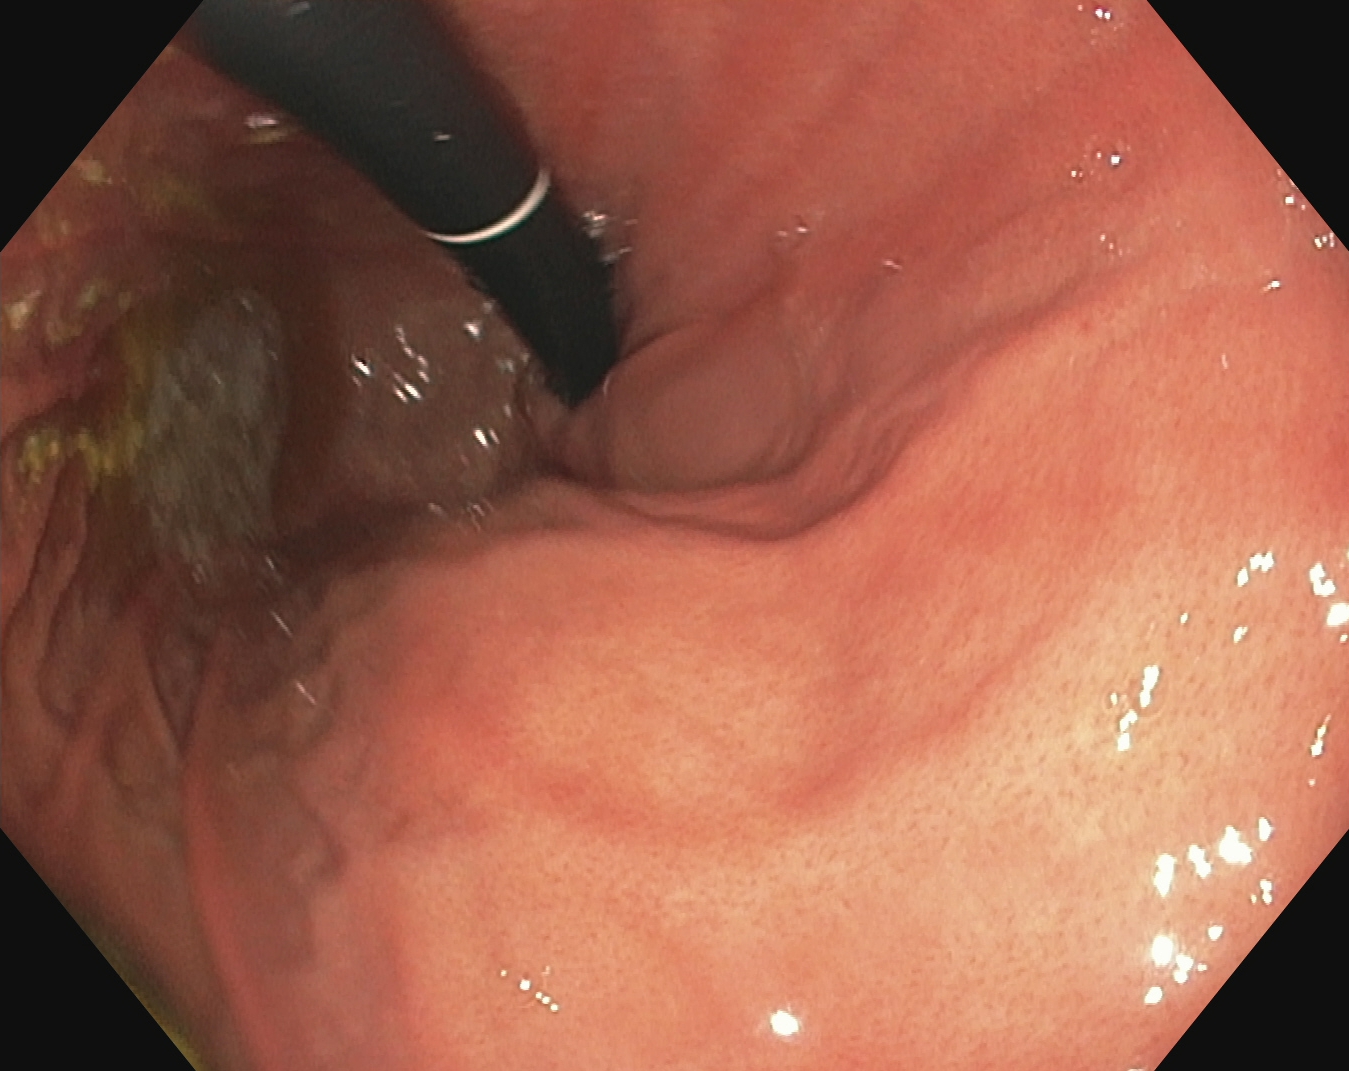{"modality": "upper-GI endoscopy", "tract": "upper GI tract", "category": "anatomical landmark", "finding": "stomach in retroflexion"}